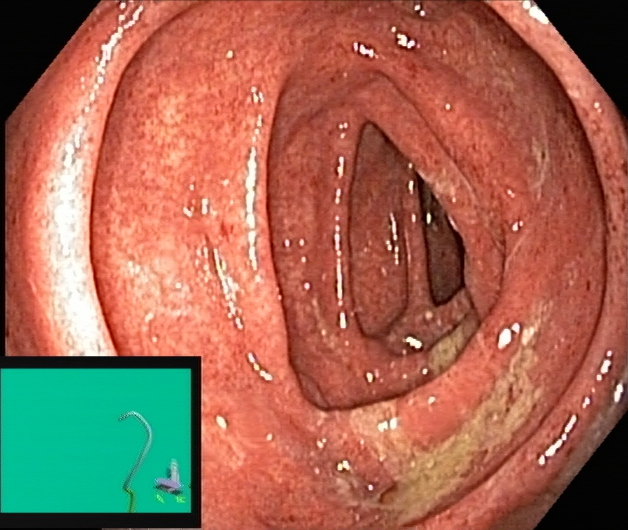This endoscopy frame of the lower GI tract shows UC, Mayo endoscopic subscore 1.